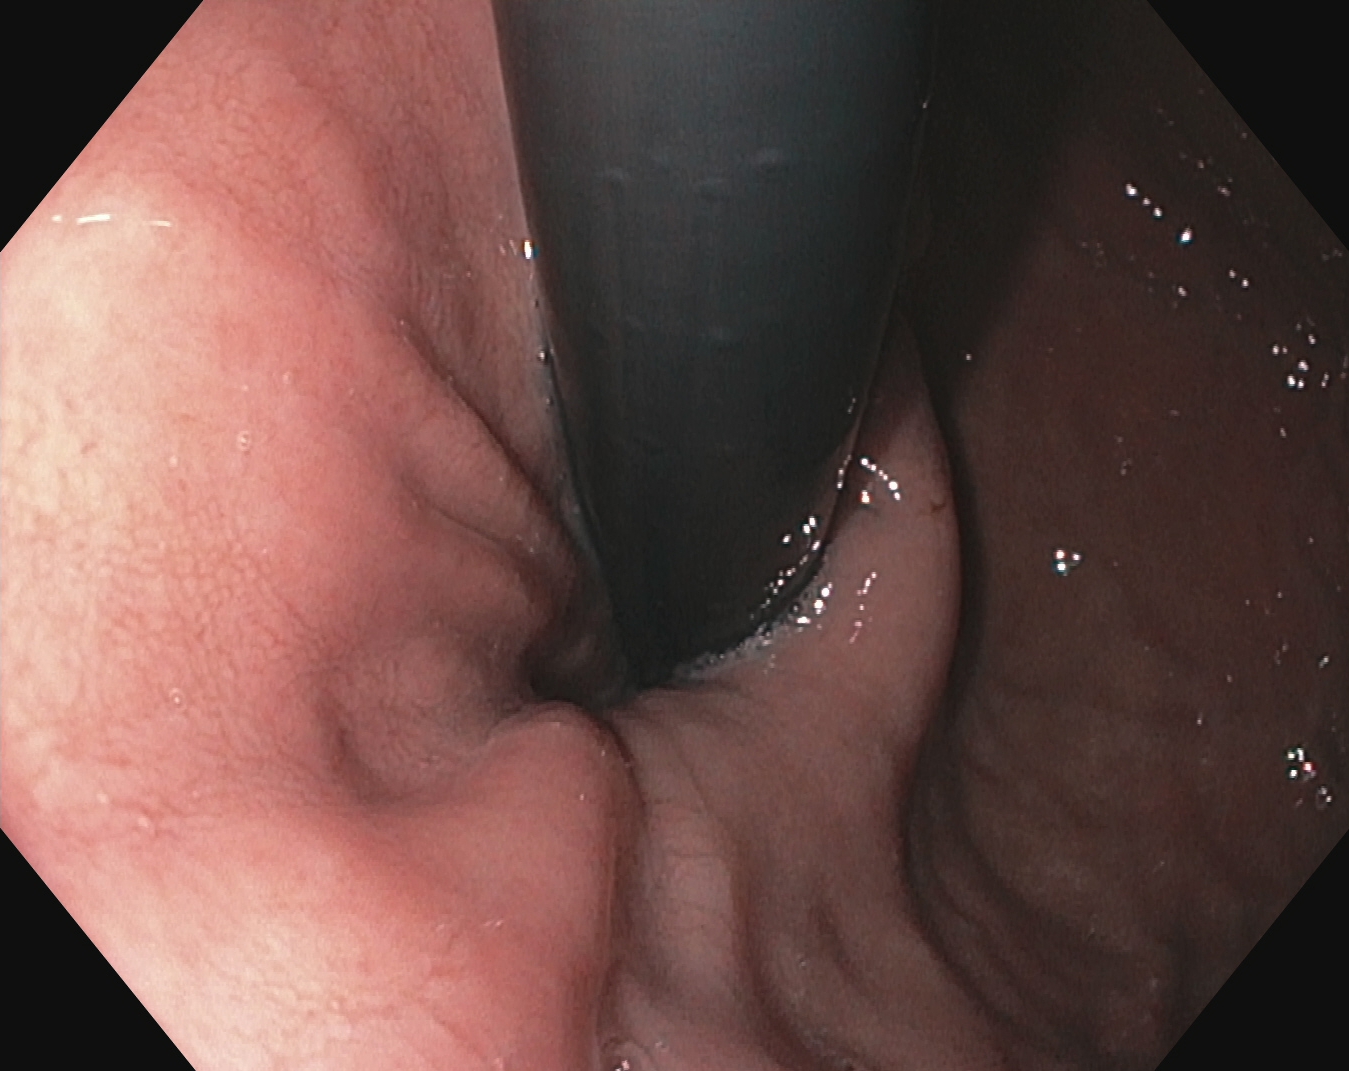Stomach in retroflexion.